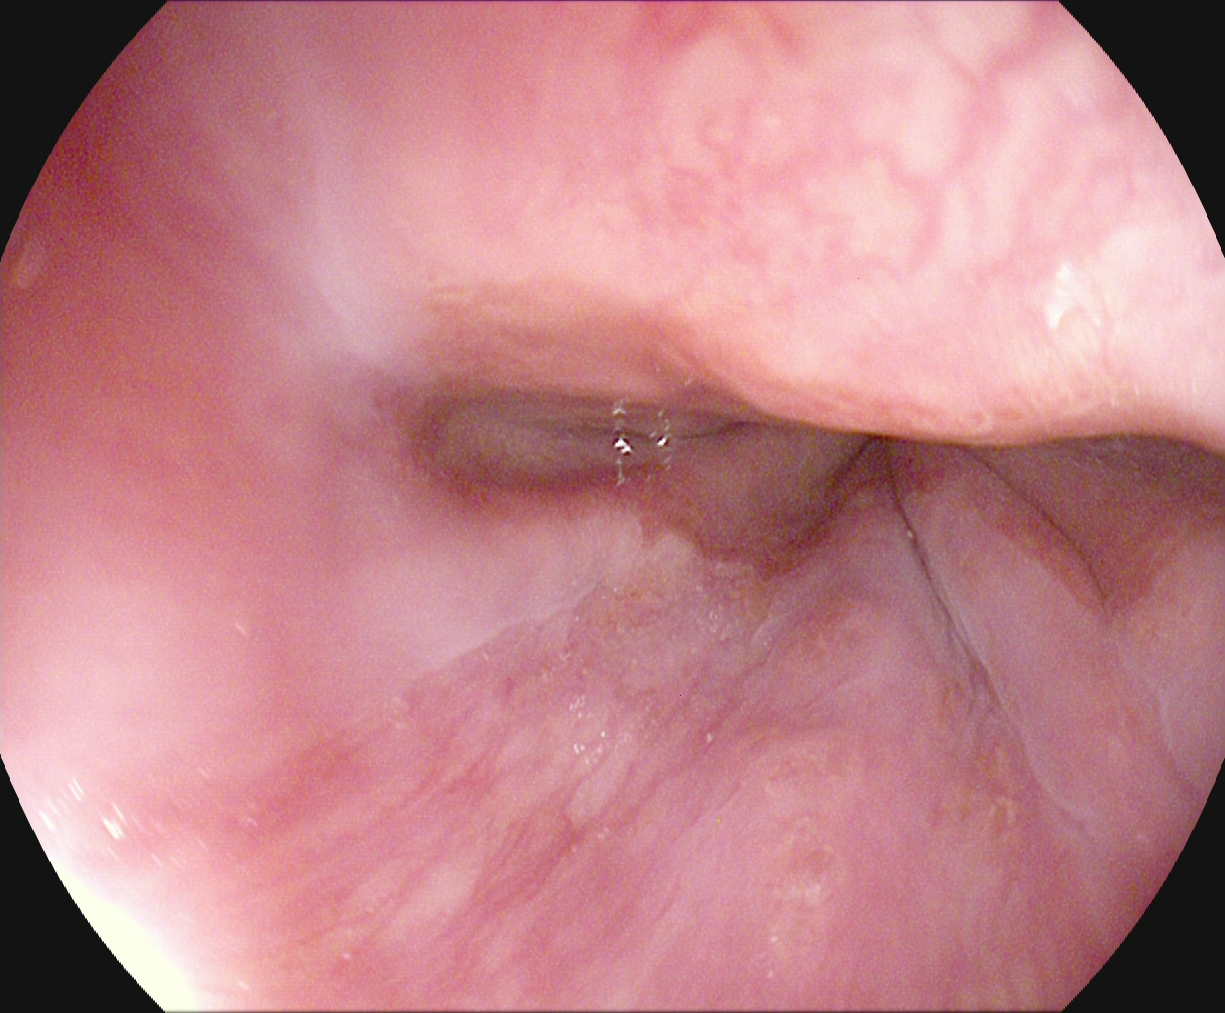Gastroscopy. Tract: upper GI tract. Finding: Z-line (gastroesophageal junction).